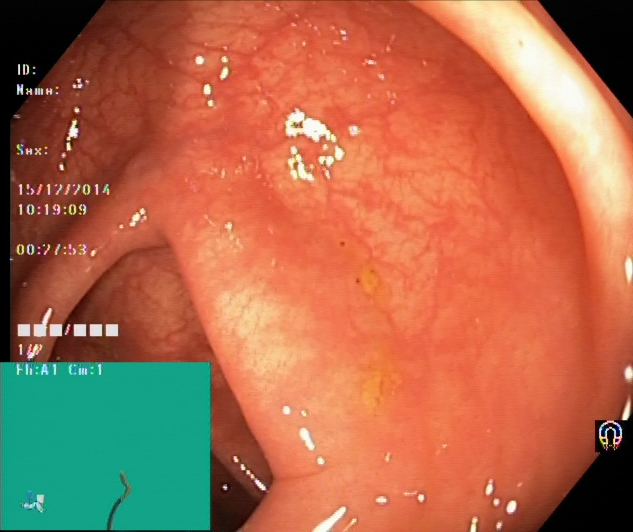modality: lower-GI endoscopy; finding: UC, Mayo endoscopic subscore 0–1